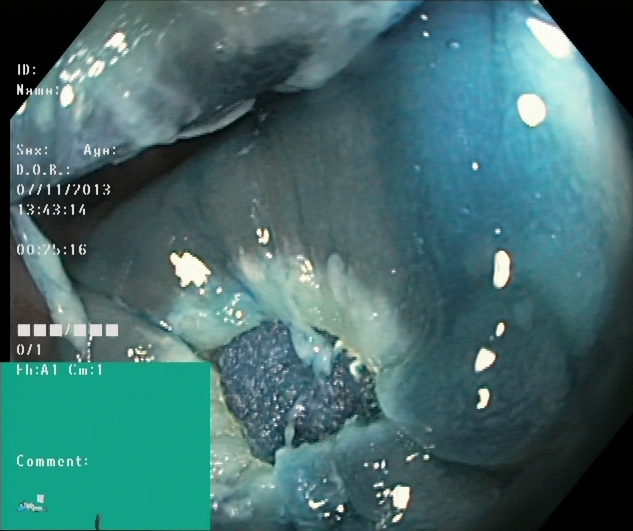modality: lower gastrointestinal endoscopy; tract: lower GI tract; category: therapeutic intervention; finding: dyed resection margins (post-polypectomy)